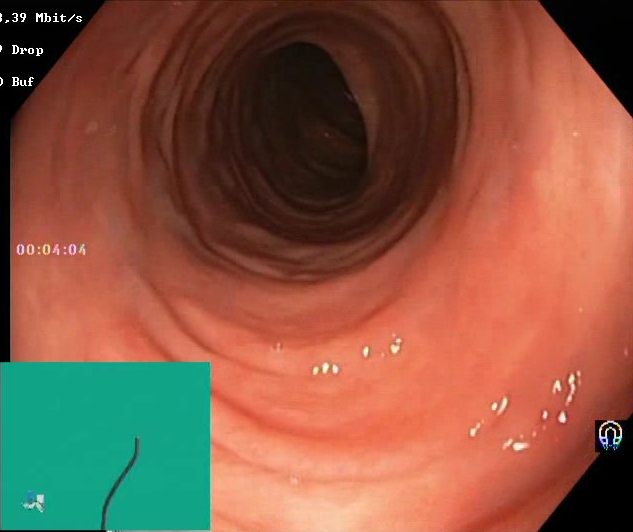Boston Bowel Preparation Scale score 2–3 (adequate preparation).